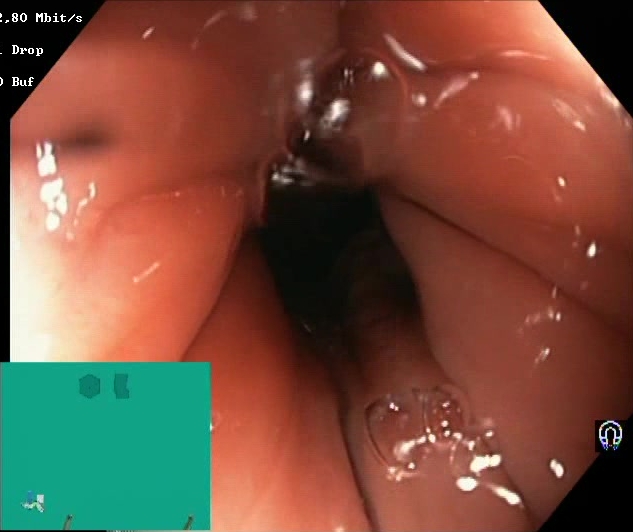Endoscopic frame of the lower GI tract showing Boston Bowel Preparation Scale score 2–3 (adequate preparation).